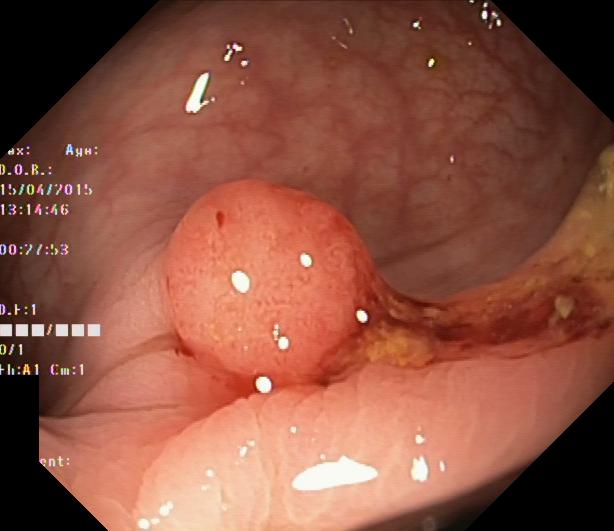PROCEDURE: Lower gastrointestinal endoscopy.
CATEGORY: Pathological finding.
FINDINGS: Colorectal polyp(s).